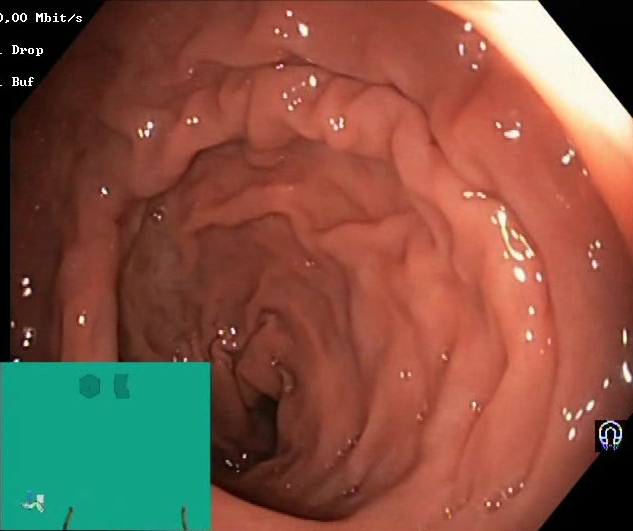PROCEDURE: Lower gastrointestinal endoscopy.
FINDINGS: BBPS score 2–3 (adequate preparation).